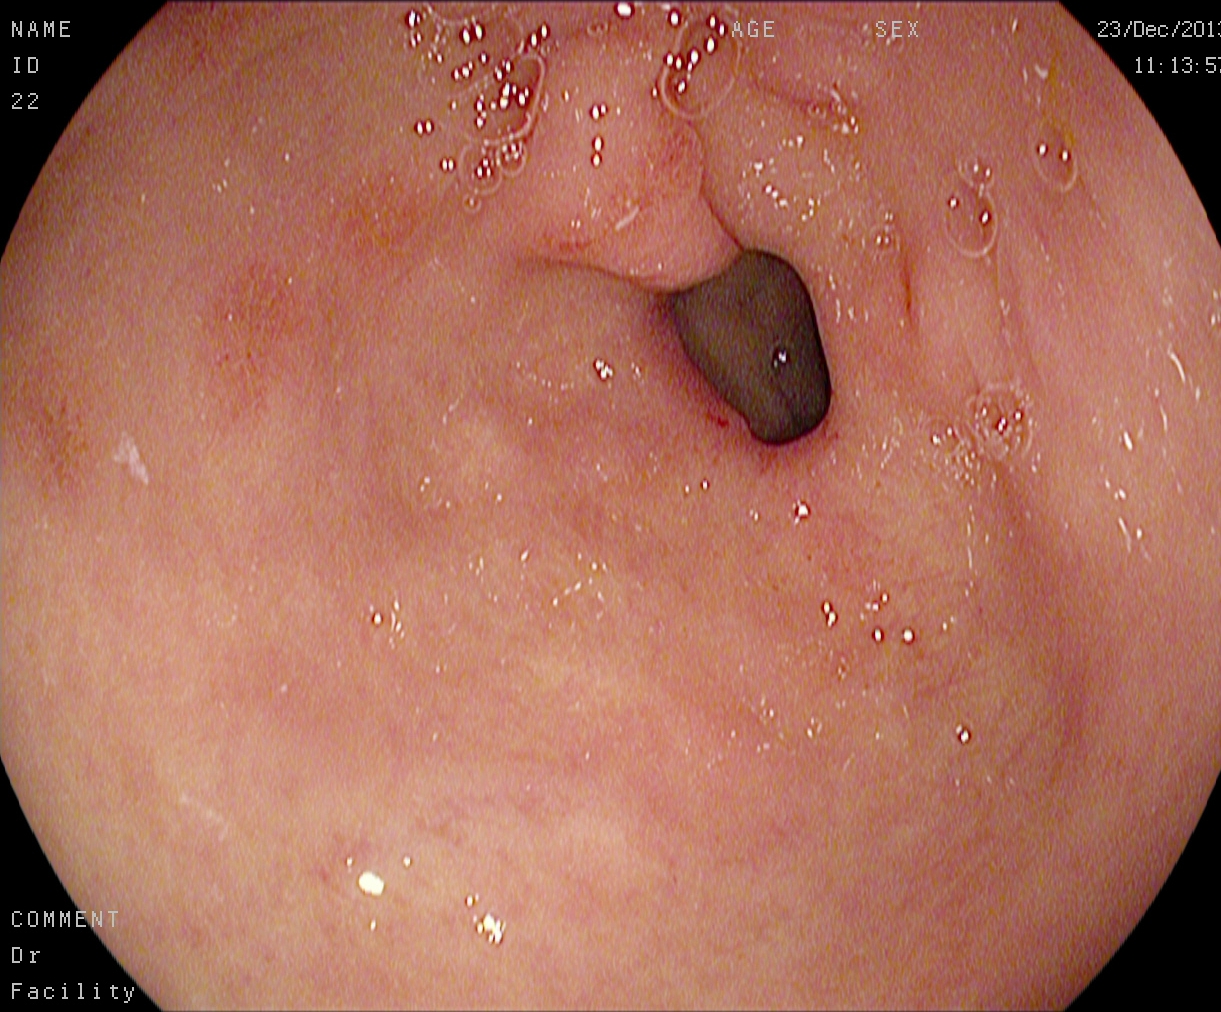modality: upper-GI endoscopy
finding: pylorus